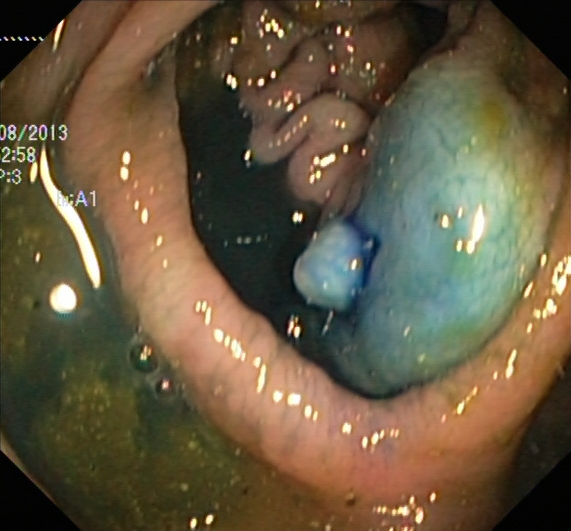Colonoscopy — dyed and lifted polyp (pre-resection).